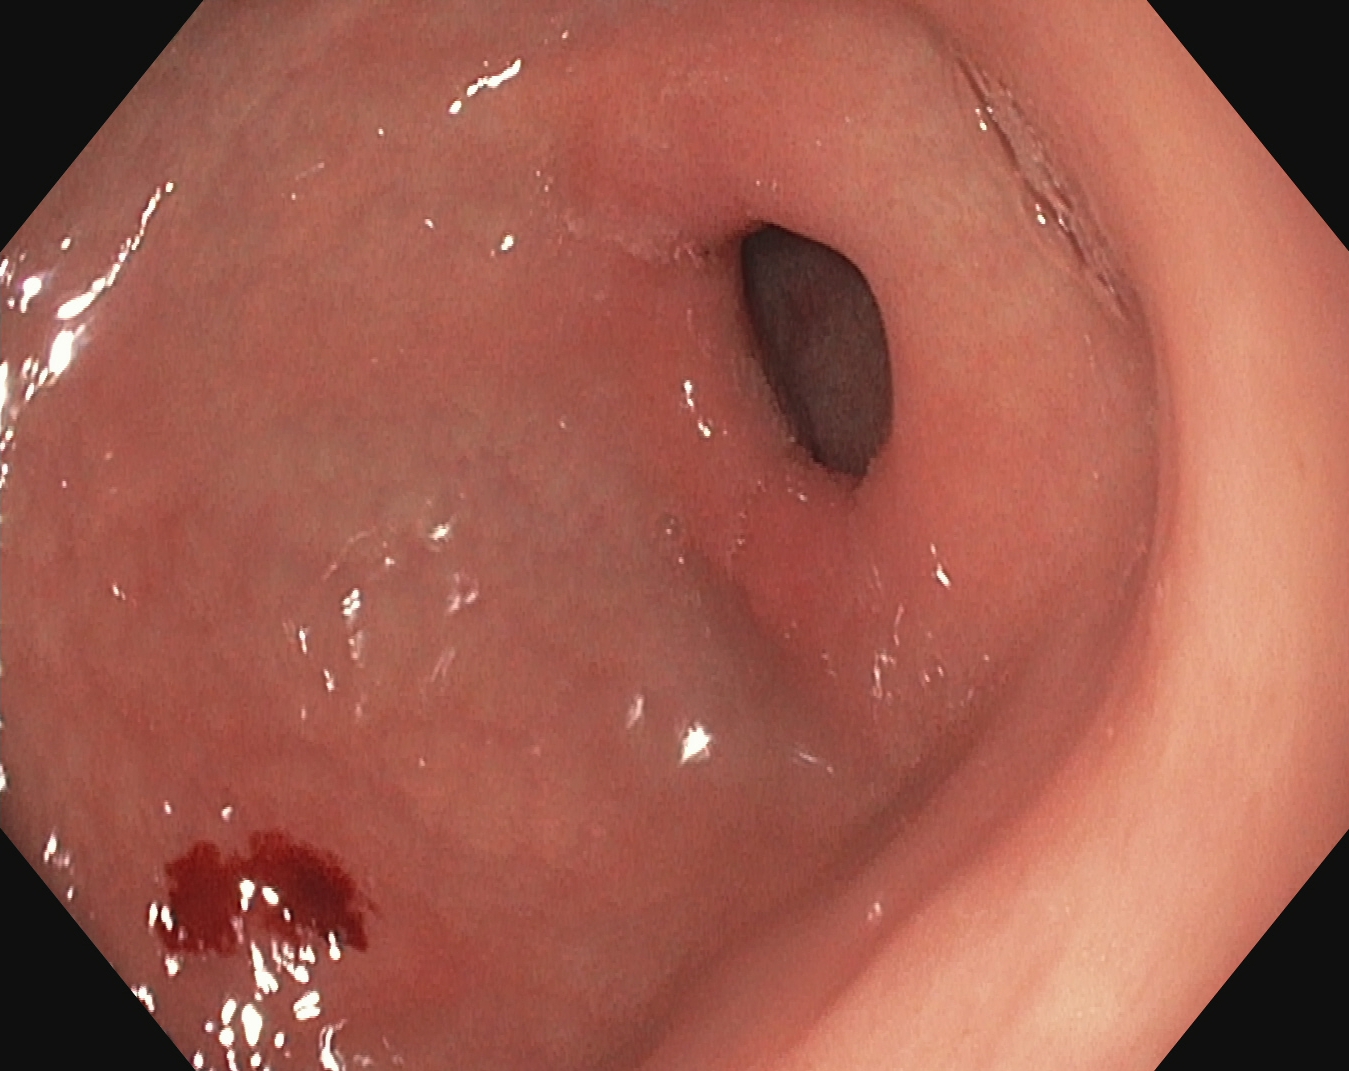PROCEDURE: Gastroscopy.
FINDINGS: Pylorus.